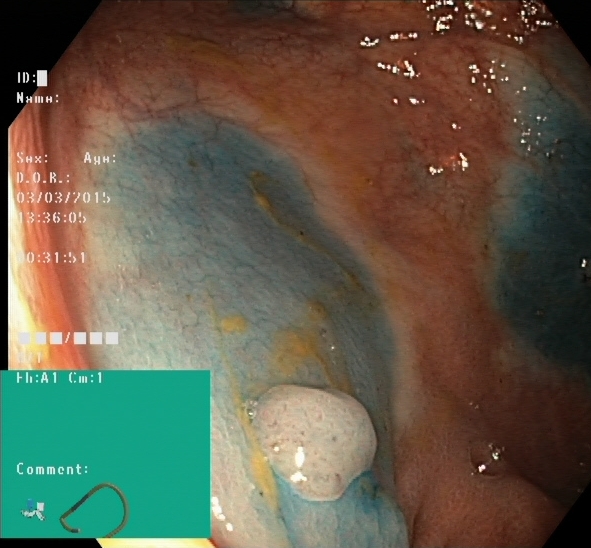This endoscopy frame of the lower GI tract shows dyed and lifted polyp (pre-resection).